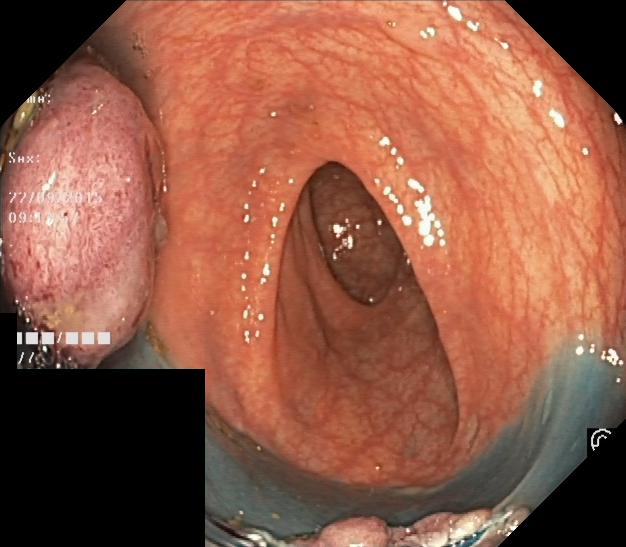colorectal polyp(s).